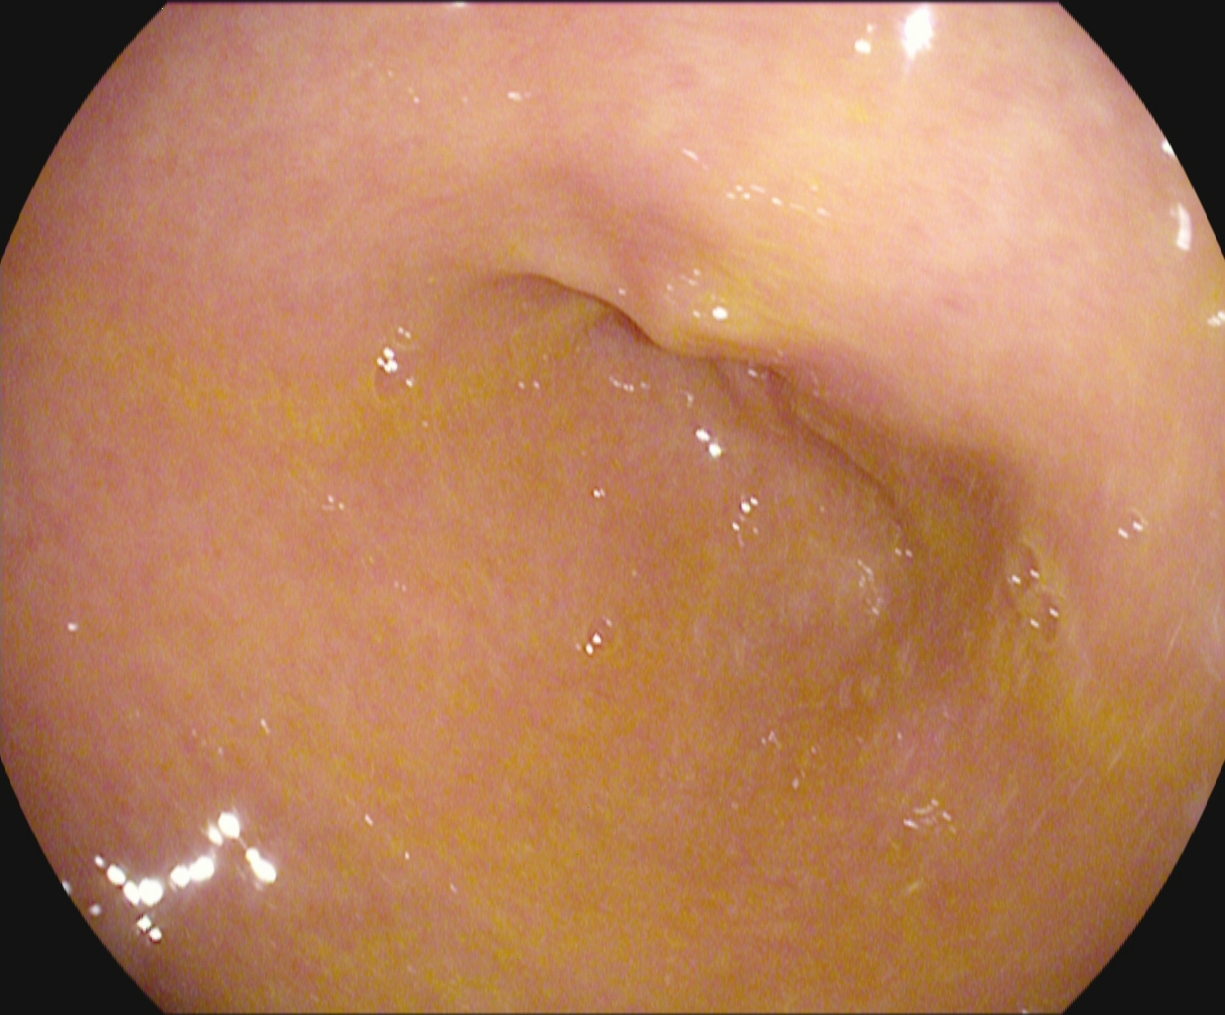Upper-GI endoscopy. Tract: upper GI tract. Finding: pylorus.